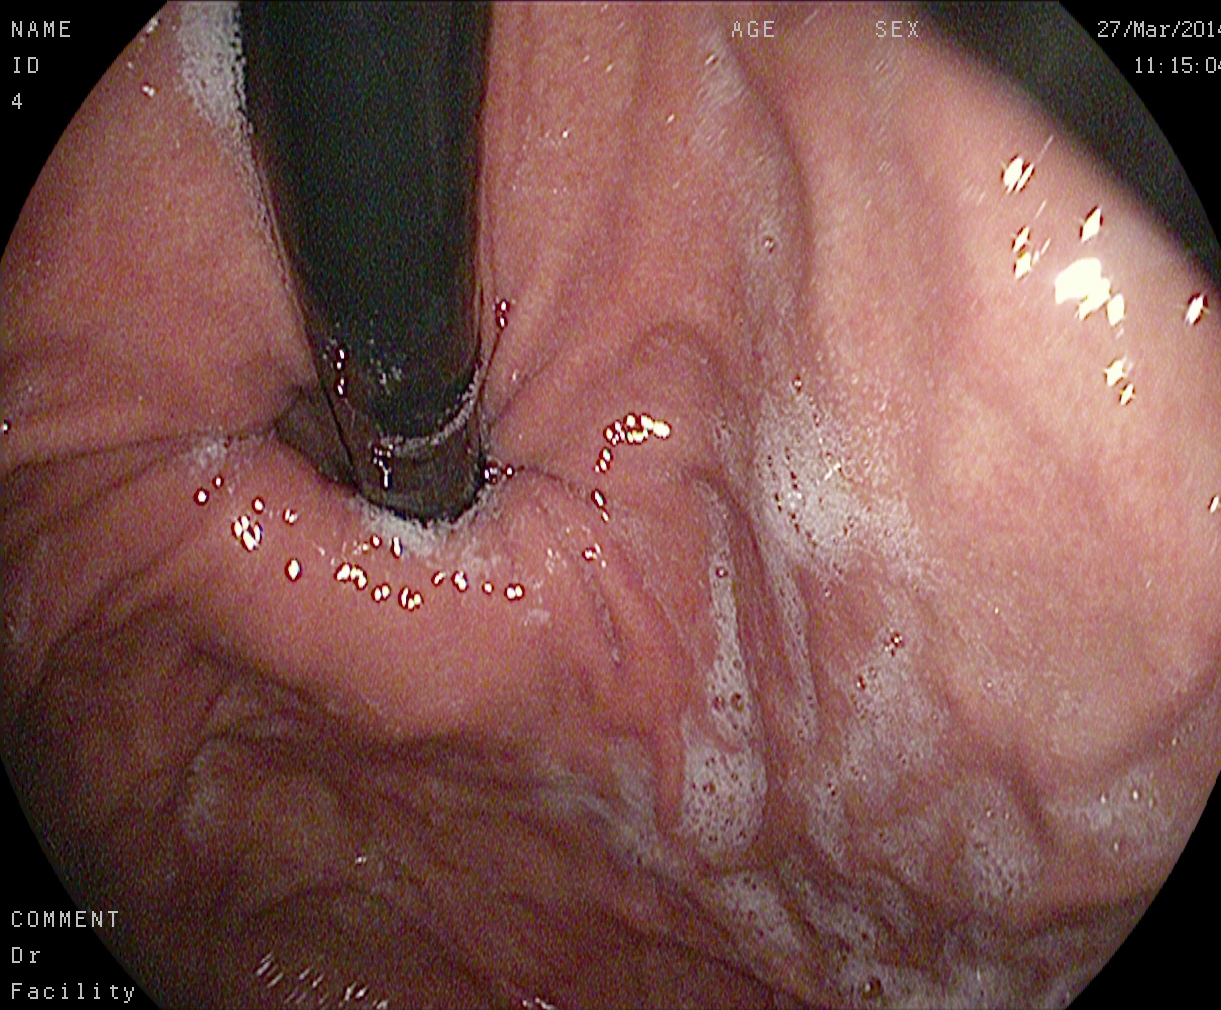PROCEDURE: Esophagogastroduodenoscopy.
CATEGORY: Anatomical landmark.
FINDINGS: Stomach in retroflexion.